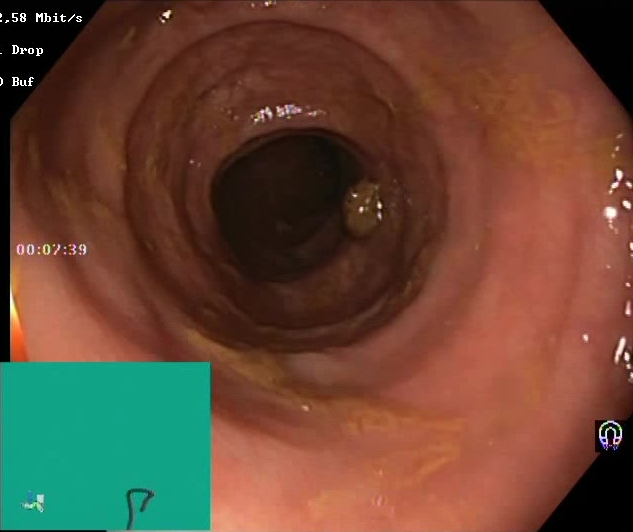Lower-GI endoscopy — Boston Bowel Preparation Scale score 2–3 (adequate preparation).